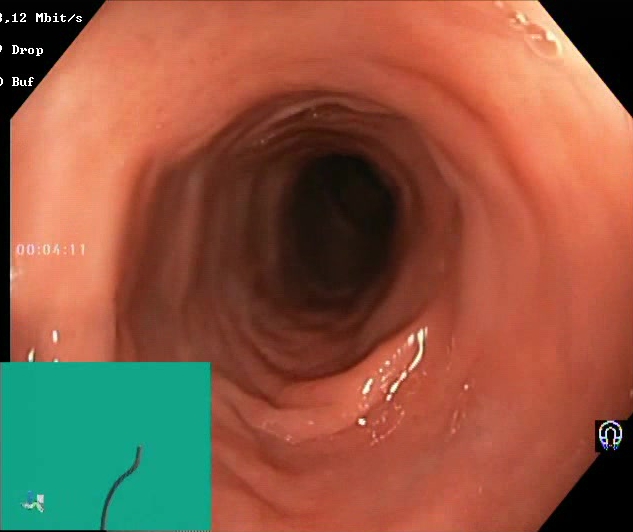Lower-GI endoscopy. Tract: lower GI tract. Finding: BBPS score 2–3 (adequate preparation).